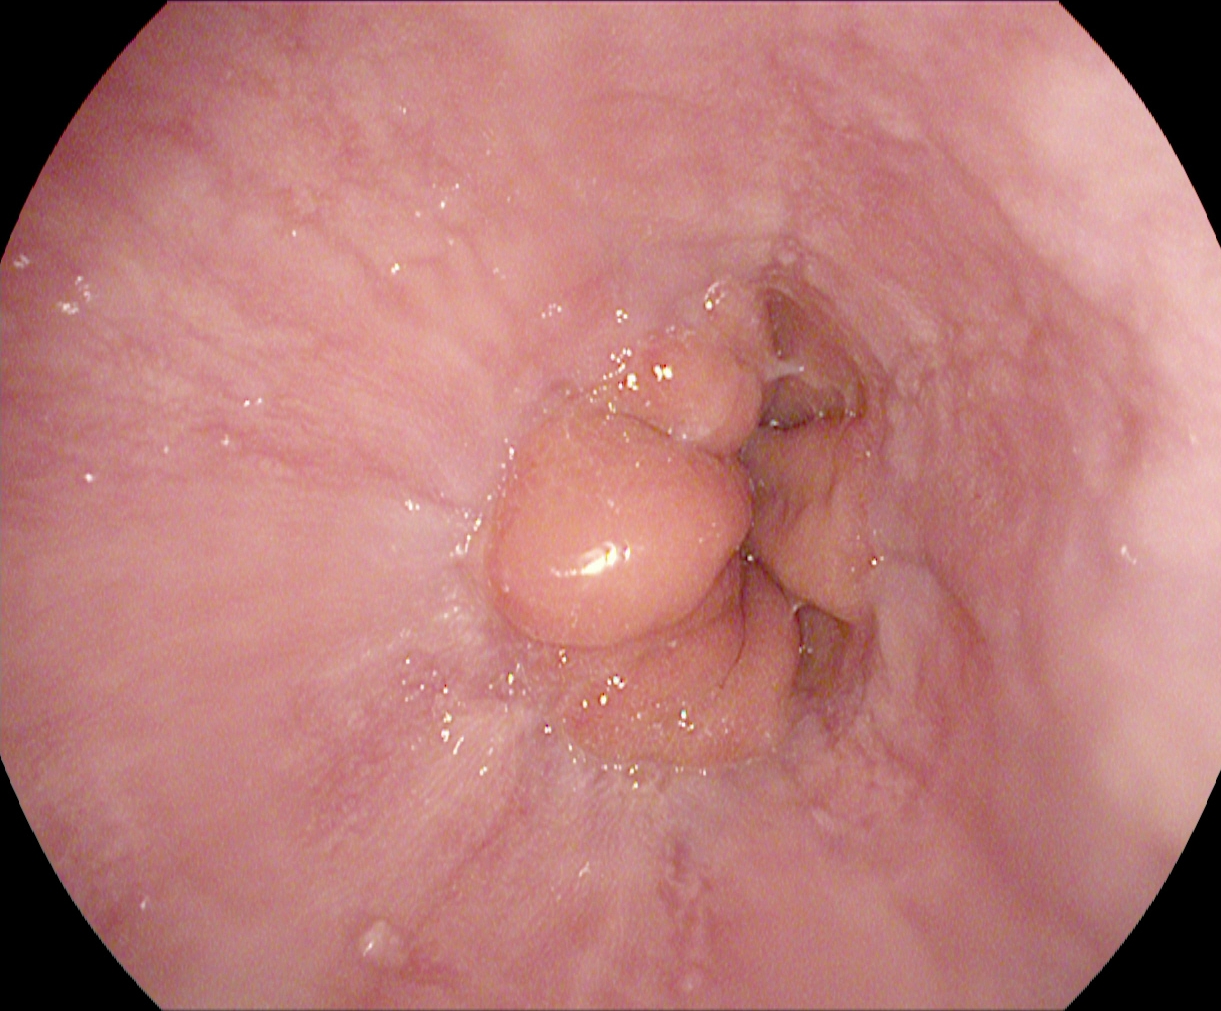This endoscopic image of the upper GI tract shows reflux esophagitis, Los Angeles grade A.